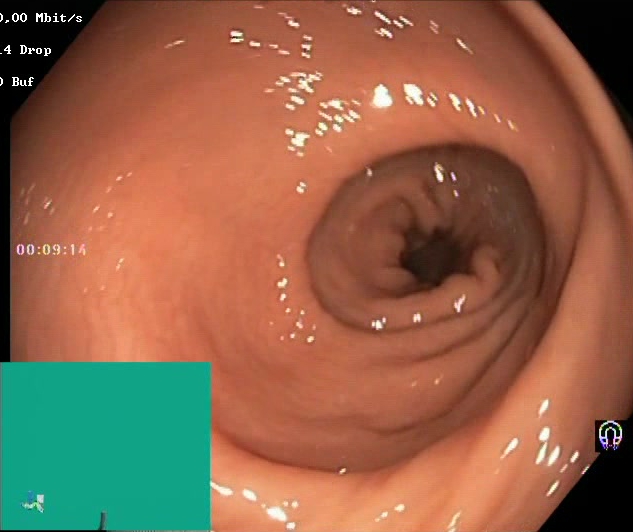This endoscopy frame of the lower GI tract shows Boston Bowel Preparation Scale score 2–3 (adequate preparation).